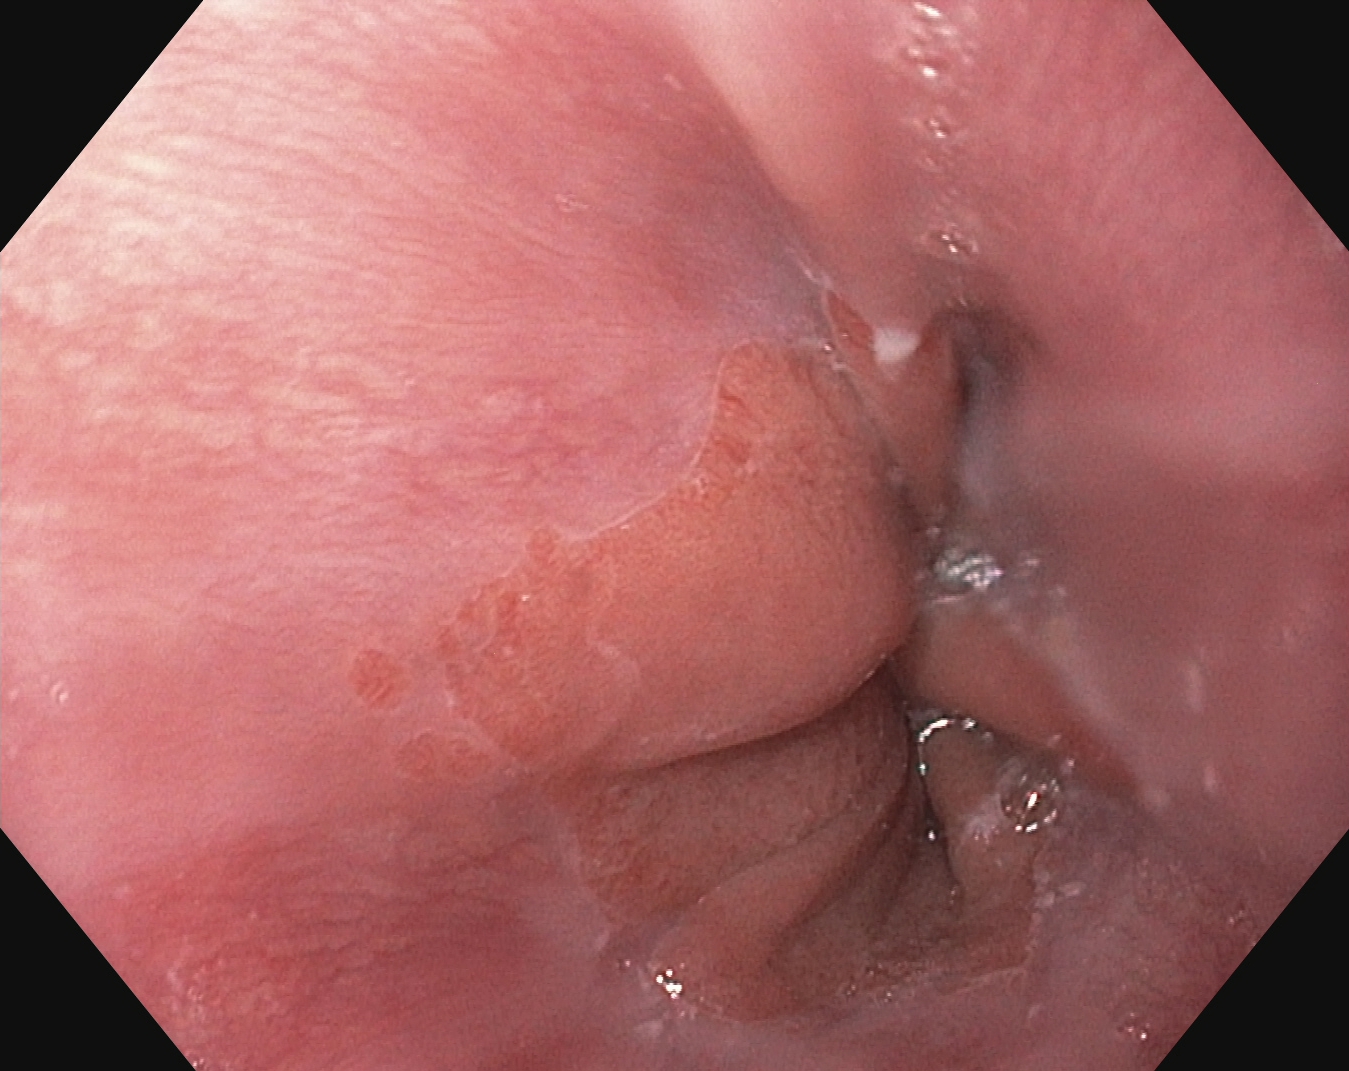{"modality": "gastroscopy", "category": "anatomical landmark", "finding": "Z-line (gastroesophageal junction)"}